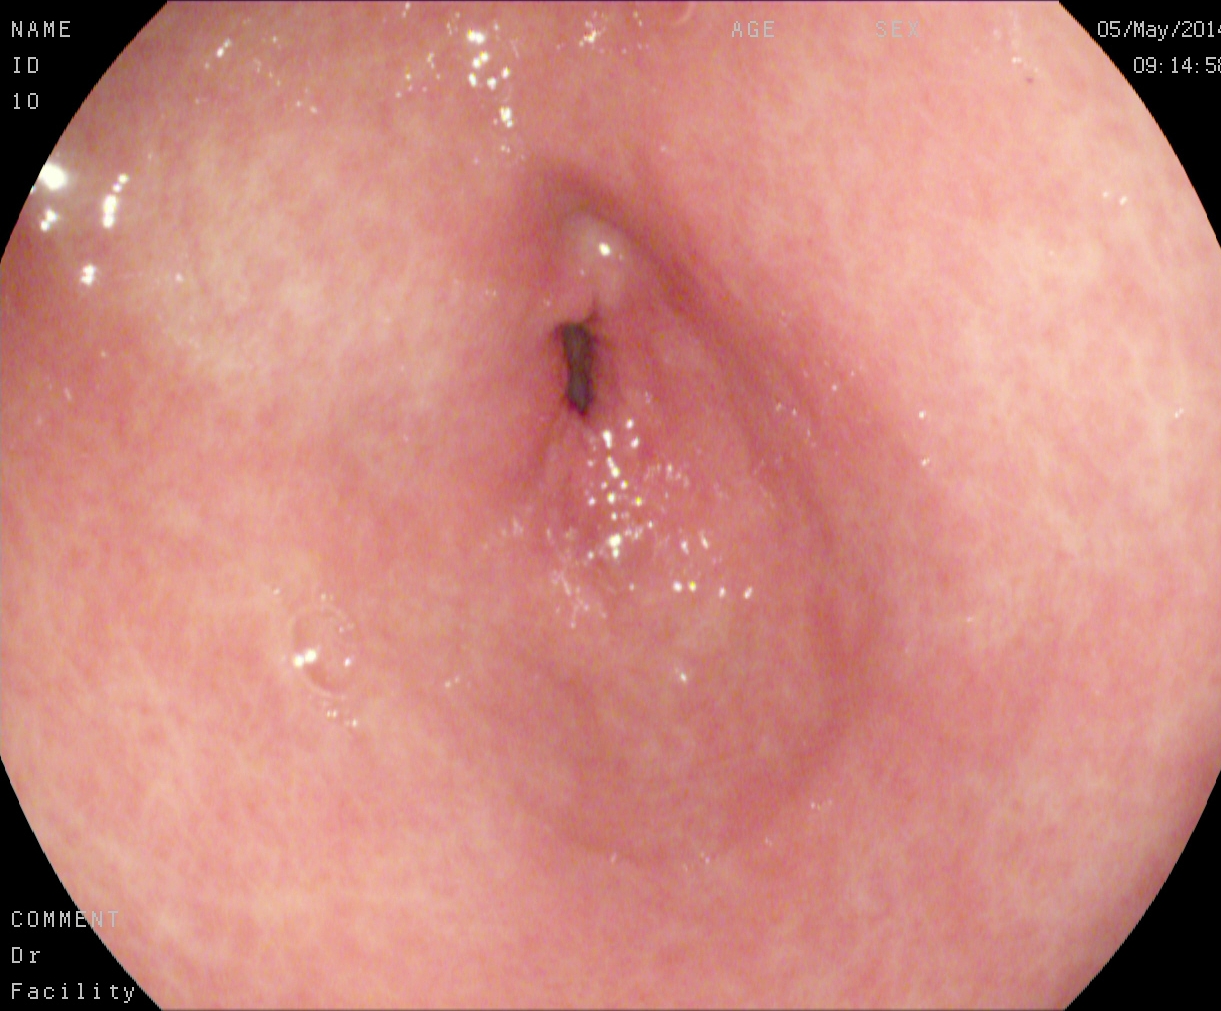Pylorus.